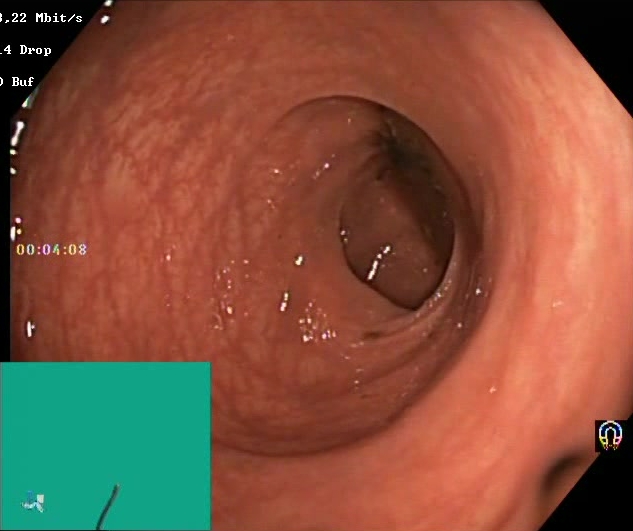{"modality": "lower-GI endoscopy", "tract": "lower GI tract", "category": "mucosal-view quality", "finding": "Boston Bowel Preparation Scale score 0\u20131 (inadequate preparation)"}